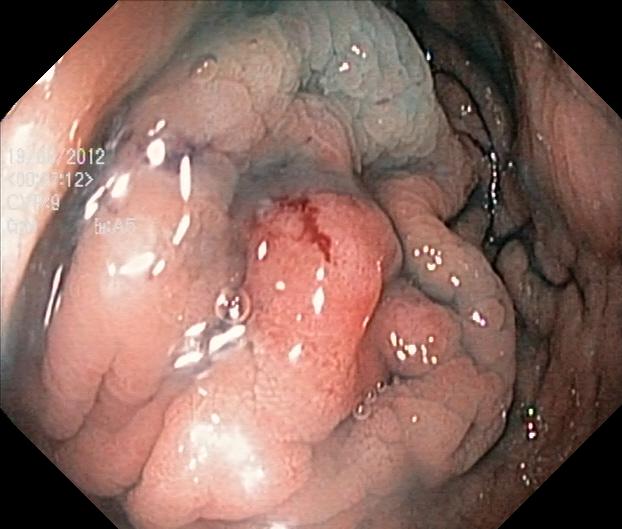This endoscopic image shows colorectal polyp(s).